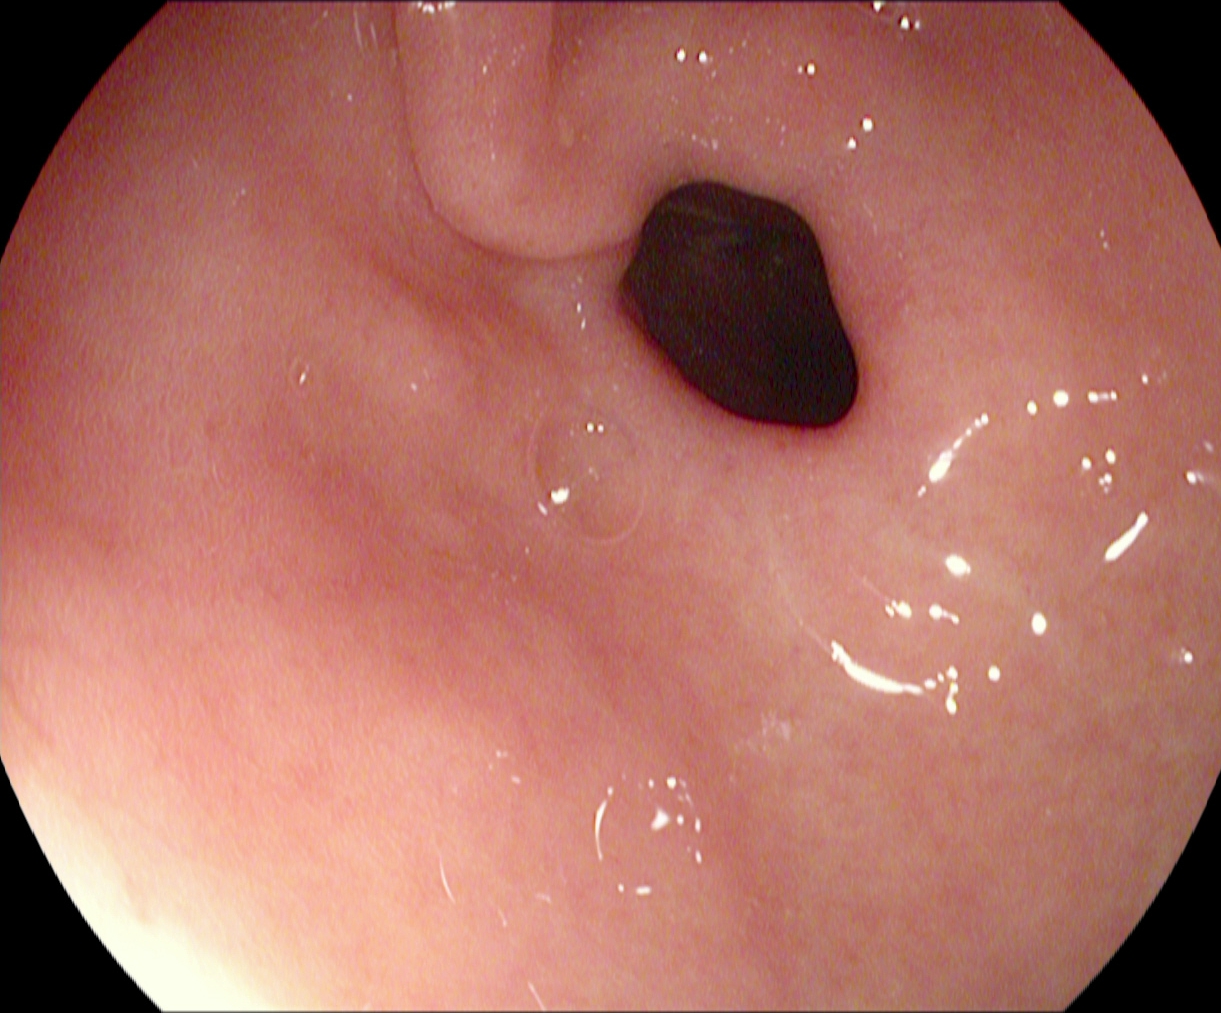{"modality": "EGD", "finding": "pylorus"}